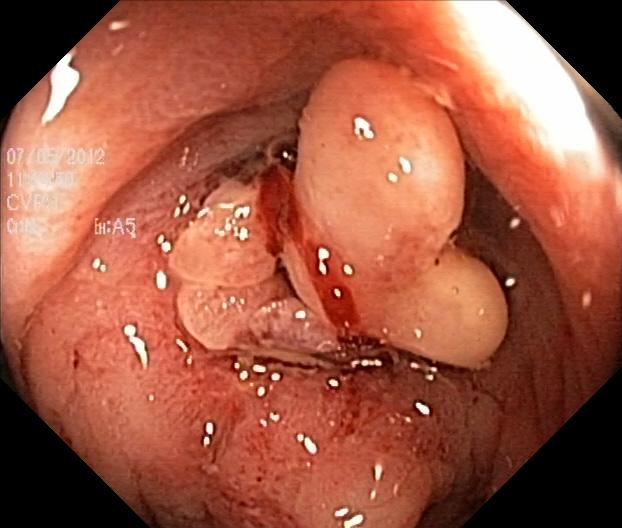Colorectal polyp(s).